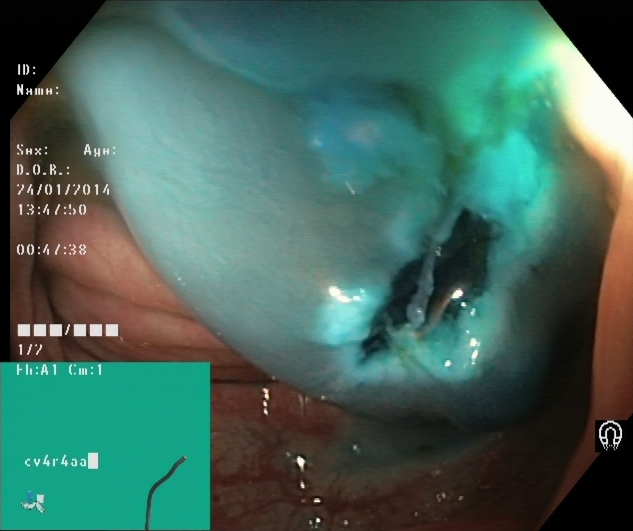modality: lower gastrointestinal endoscopy
tract: lower GI tract
finding: dyed resection margins (post-polypectomy)